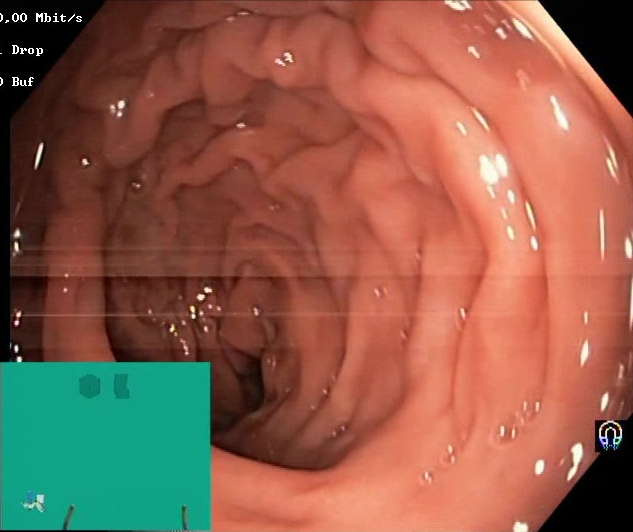{"modality": "lower gastrointestinal endoscopy", "tract": "lower GI tract", "finding": "Boston Bowel Preparation Scale score 2\u20133 (adequate preparation)"}